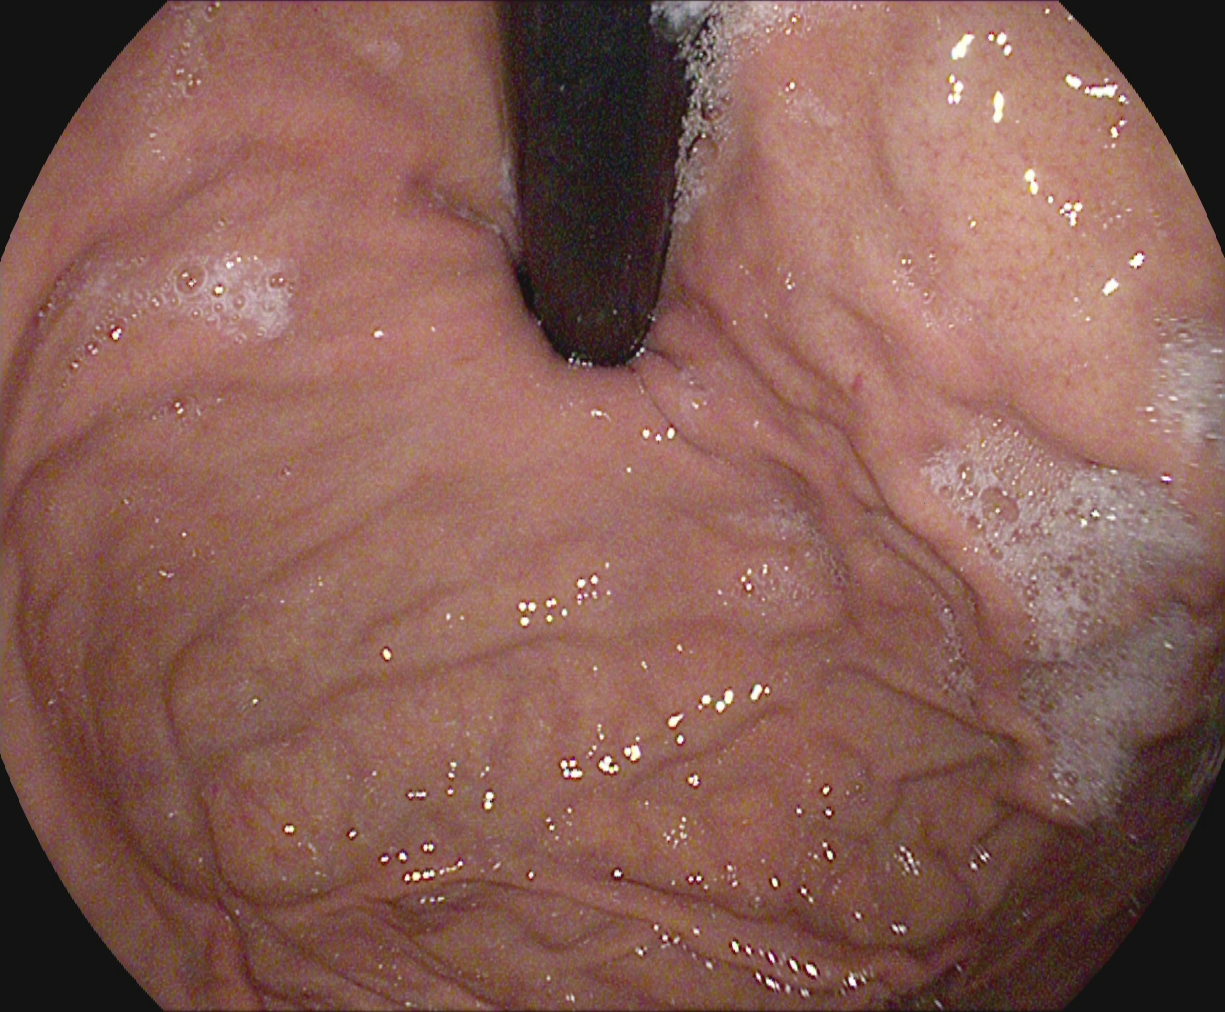Stomach in retroflexion.